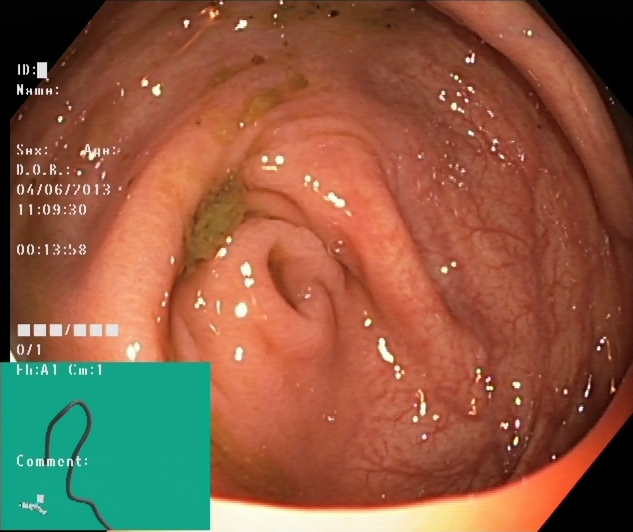Cecum.